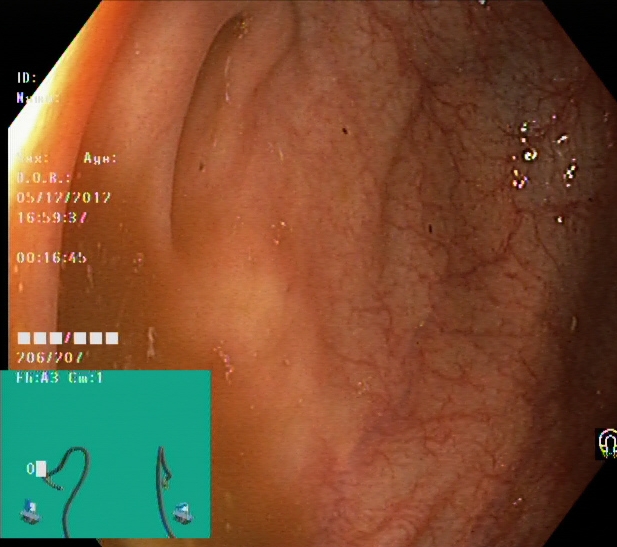PROCEDURE: Colonoscopy.
CATEGORY: Anatomical landmark.
FINDINGS: Cecum.